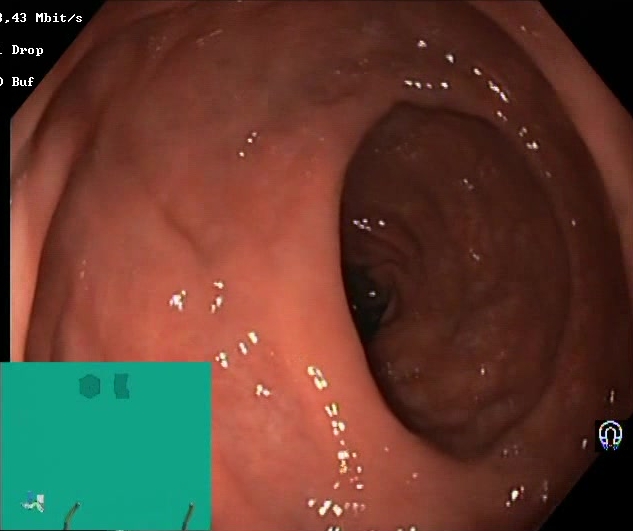Boston Bowel Preparation Scale score 2–3 (adequate preparation).